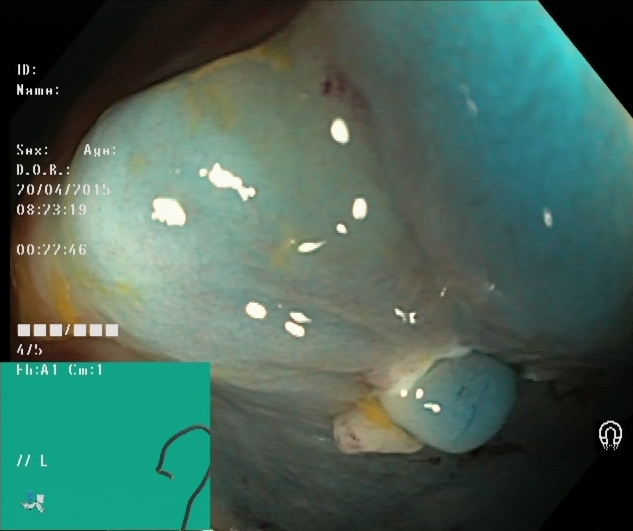Lower gastrointestinal endoscopy. Tract: lower GI tract. Finding: dyed and lifted polyp (pre-resection).